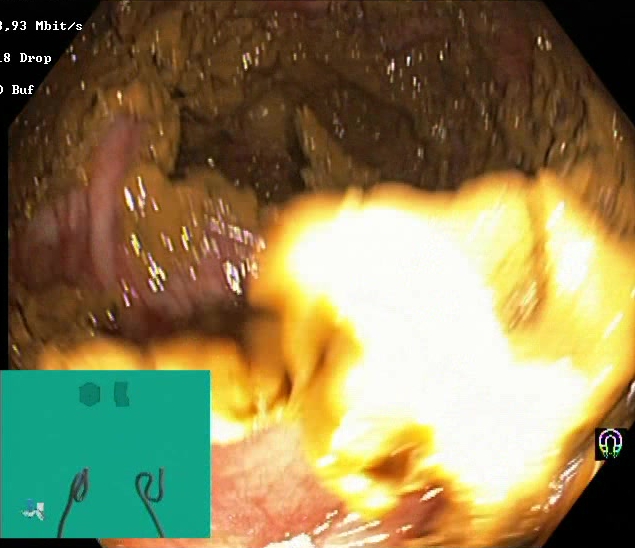{"modality": "lower gastrointestinal endoscopy", "category": "mucosal-view quality", "finding": "BBPS score 0\u20131 (inadequate preparation)"}